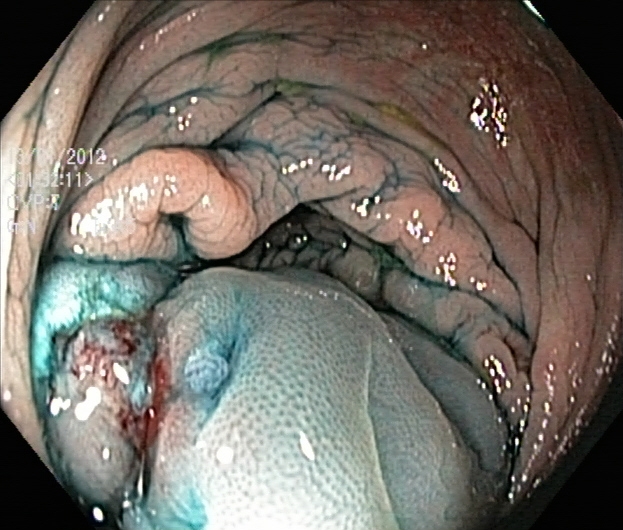dyed resection margins (post-polypectomy).